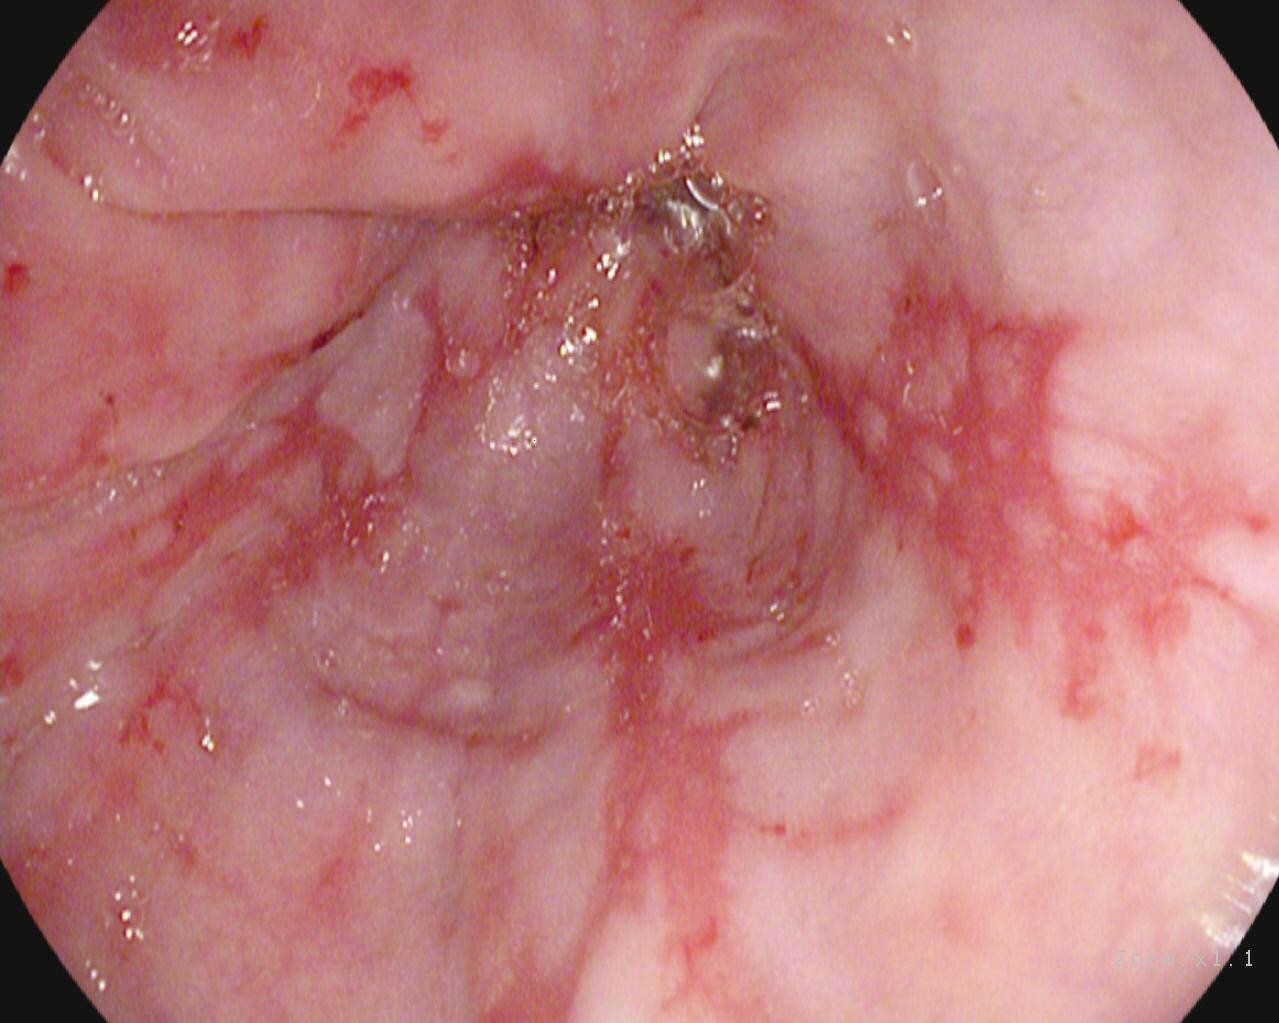Gastroscopy. Pathological finding. Finding: reflux esophagitis, Los Angeles grade B–D.